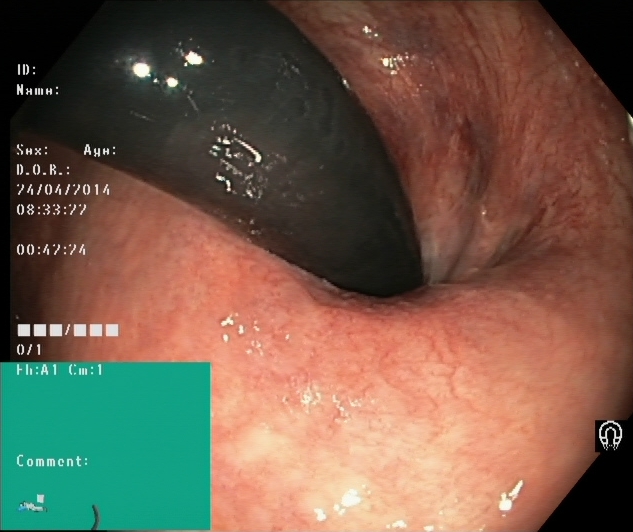modality: lower-GI endoscopy; tract: lower GI tract; finding: rectum in retroflexion